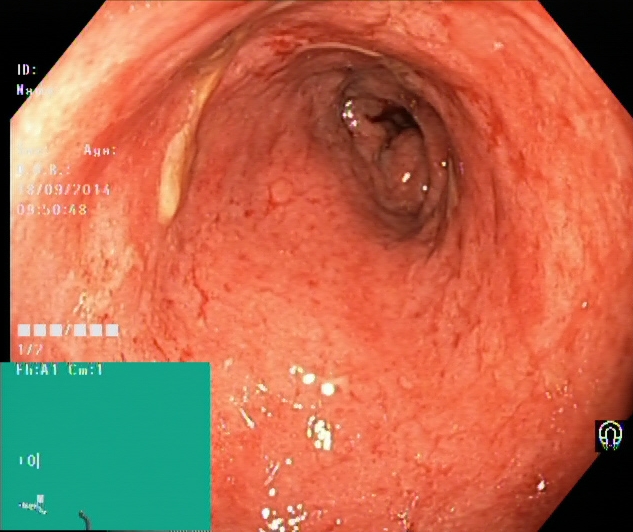{"modality": "colonoscopy", "tract": "lower GI tract", "category": "pathological finding", "finding": "ulcerative colitis, Mayo endoscopic subscore 1"}